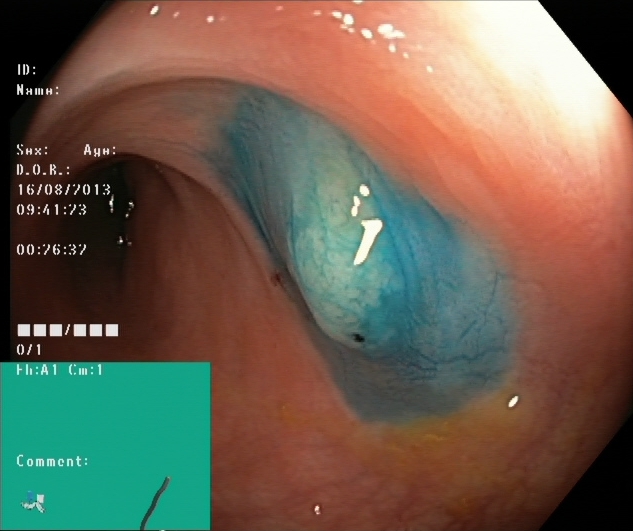modality: lower-GI endoscopy; tract: lower GI tract; category: therapeutic intervention; finding: dyed and lifted polyp (pre-resection)